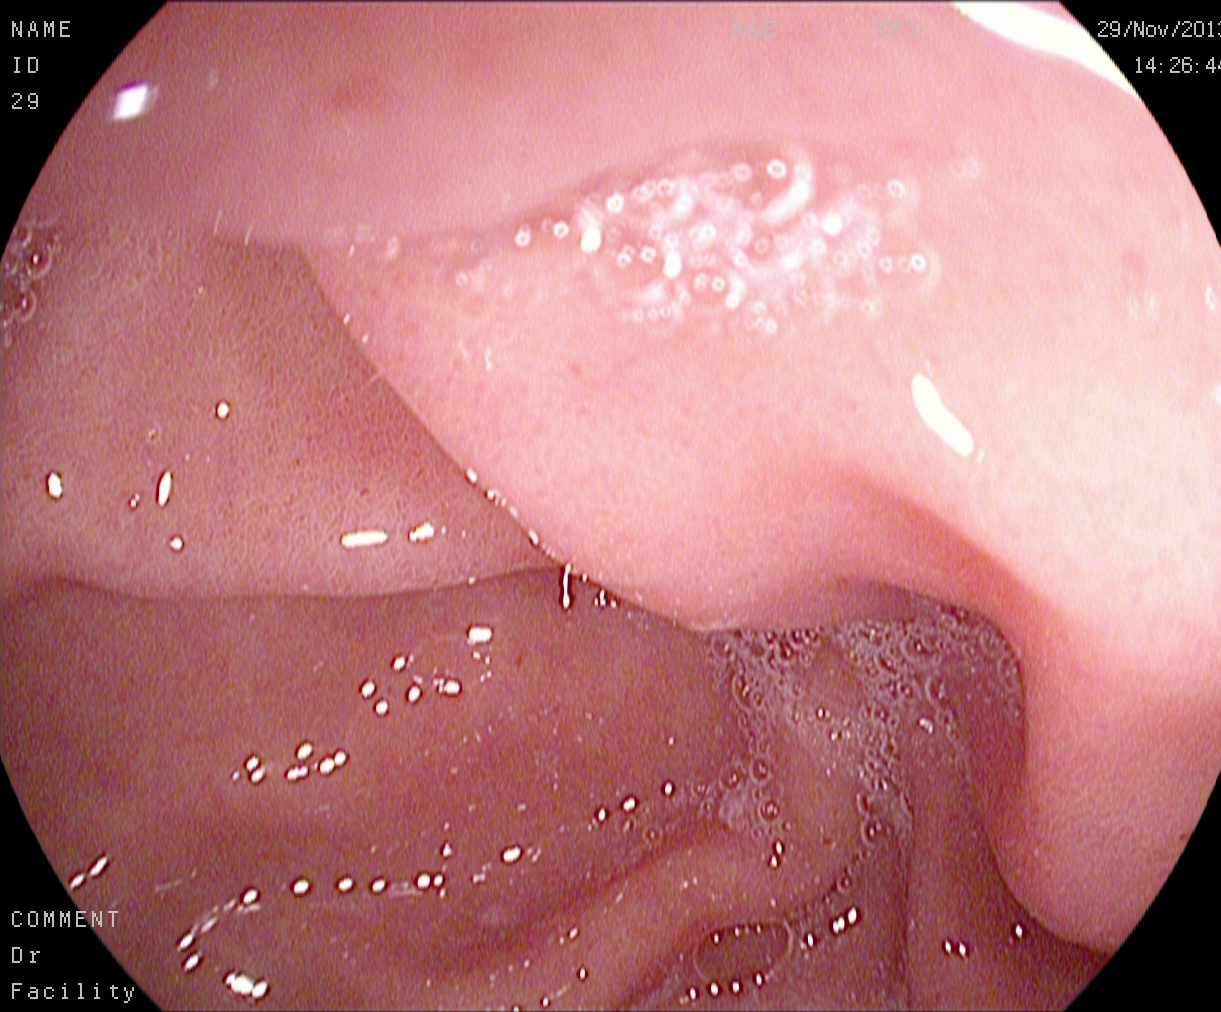{"modality": "esophagogastroduodenoscopy", "category": "pathological finding", "finding": "reflux esophagitis, Los Angeles grade B\u2013D"}